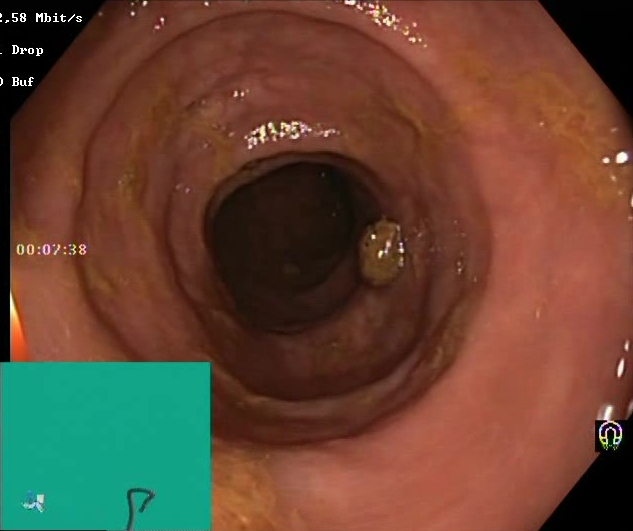modality: colonoscopy; finding: Boston Bowel Preparation Scale score 2–3 (adequate preparation)